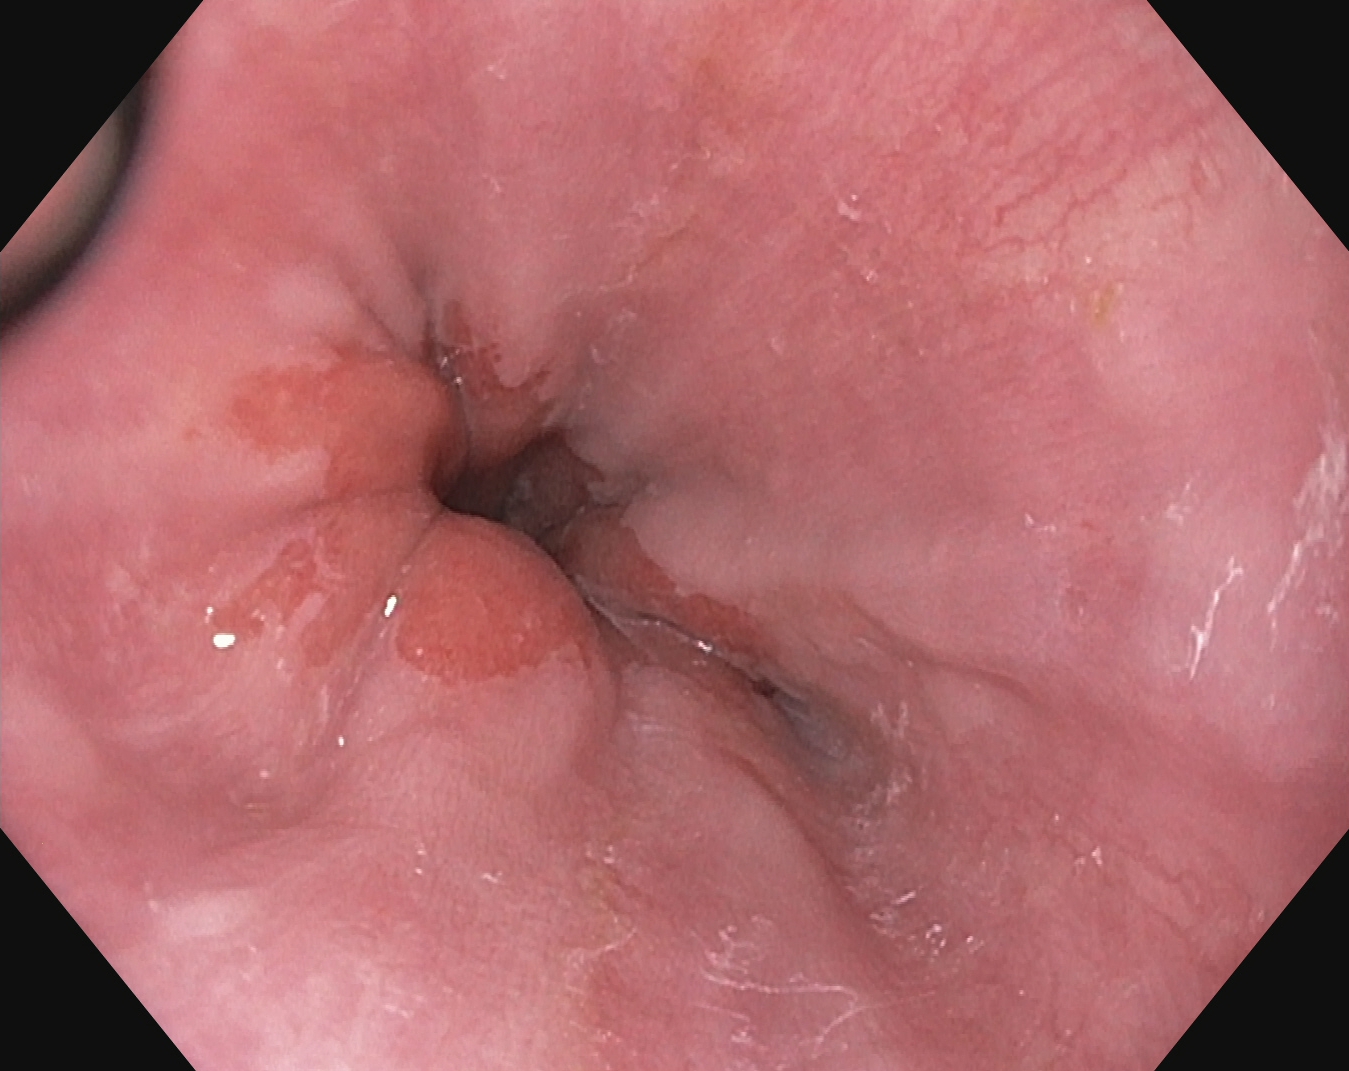modality: upper-GI endoscopy; tract: upper GI tract; finding: Z-line (gastroesophageal junction)